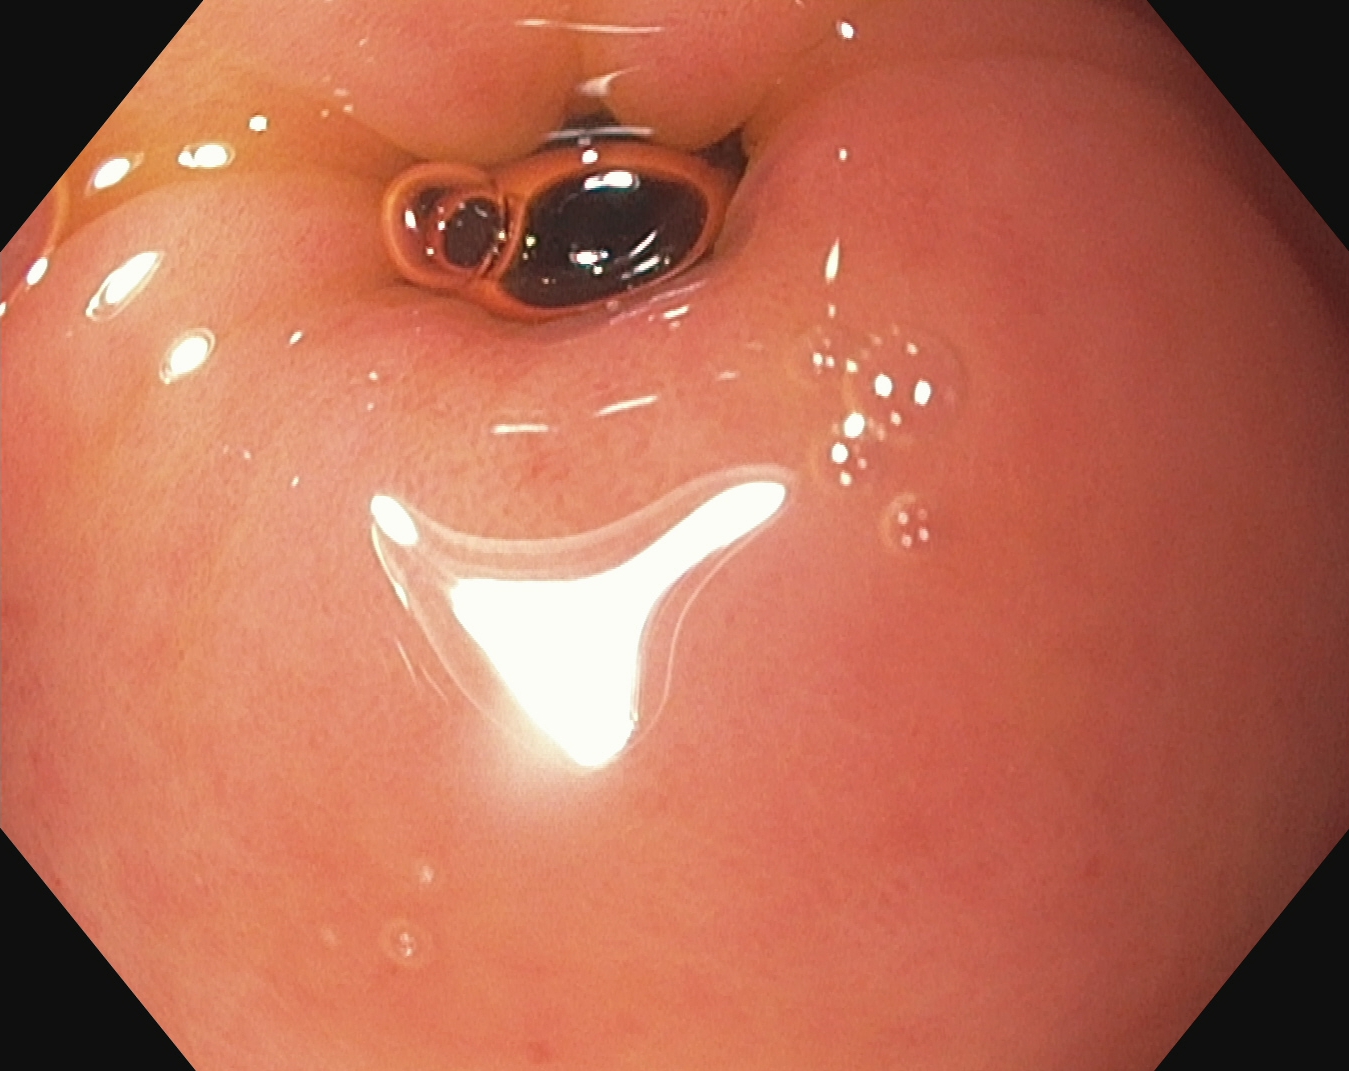pylorus.